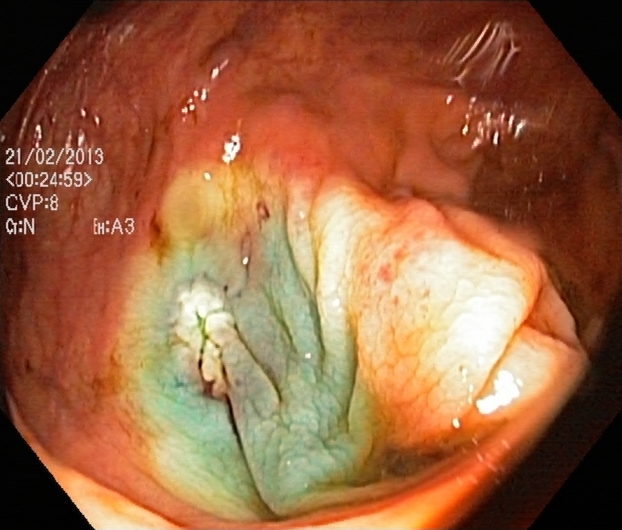{"modality": "lower gastrointestinal endoscopy", "tract": "lower GI tract", "finding": "dyed resection margins (post-polypectomy)"}